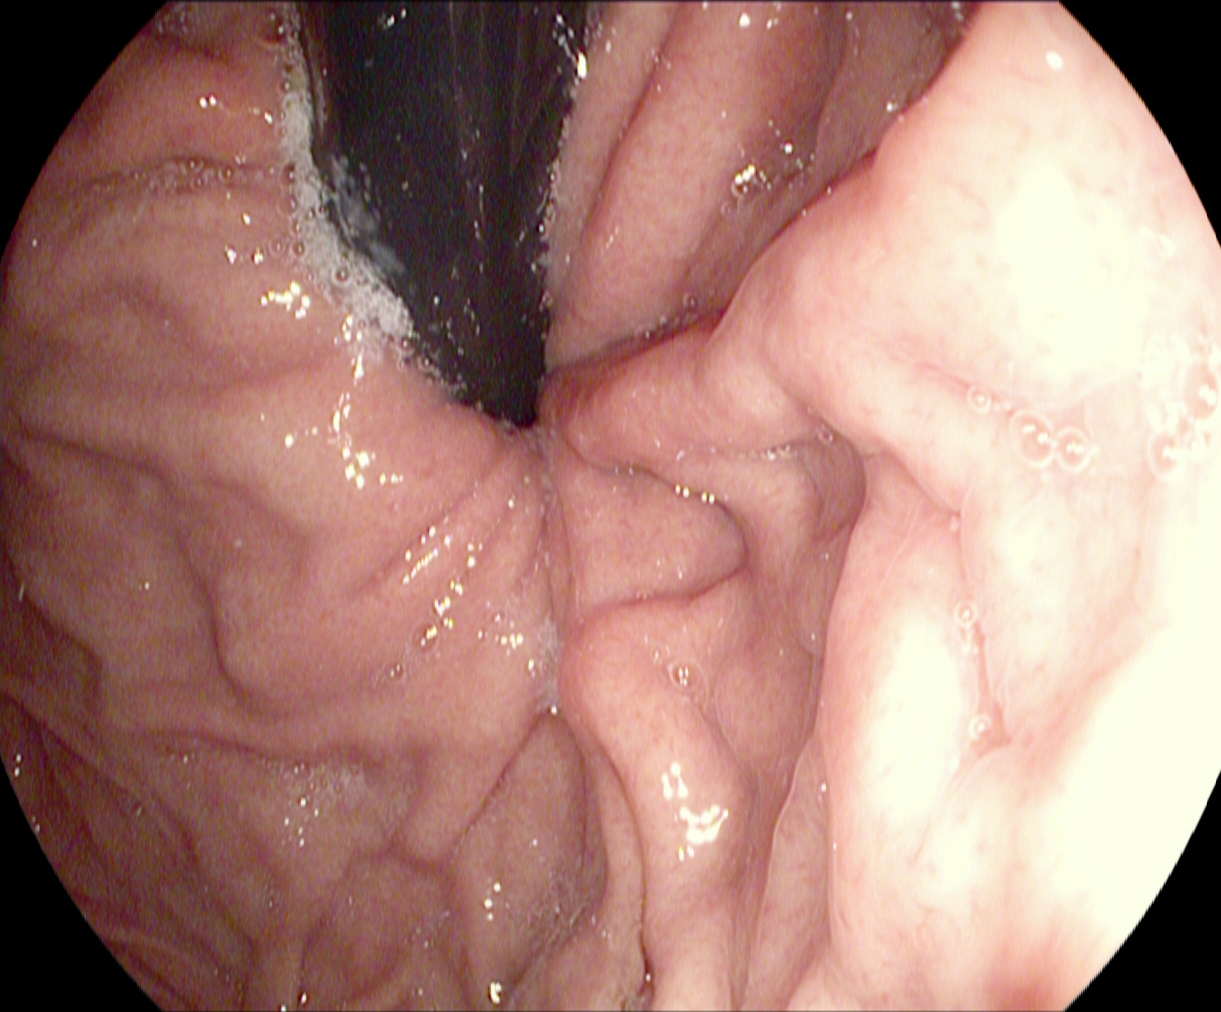PROCEDURE: Upper-GI endoscopy.
FINDINGS: Stomach in retroflexion.